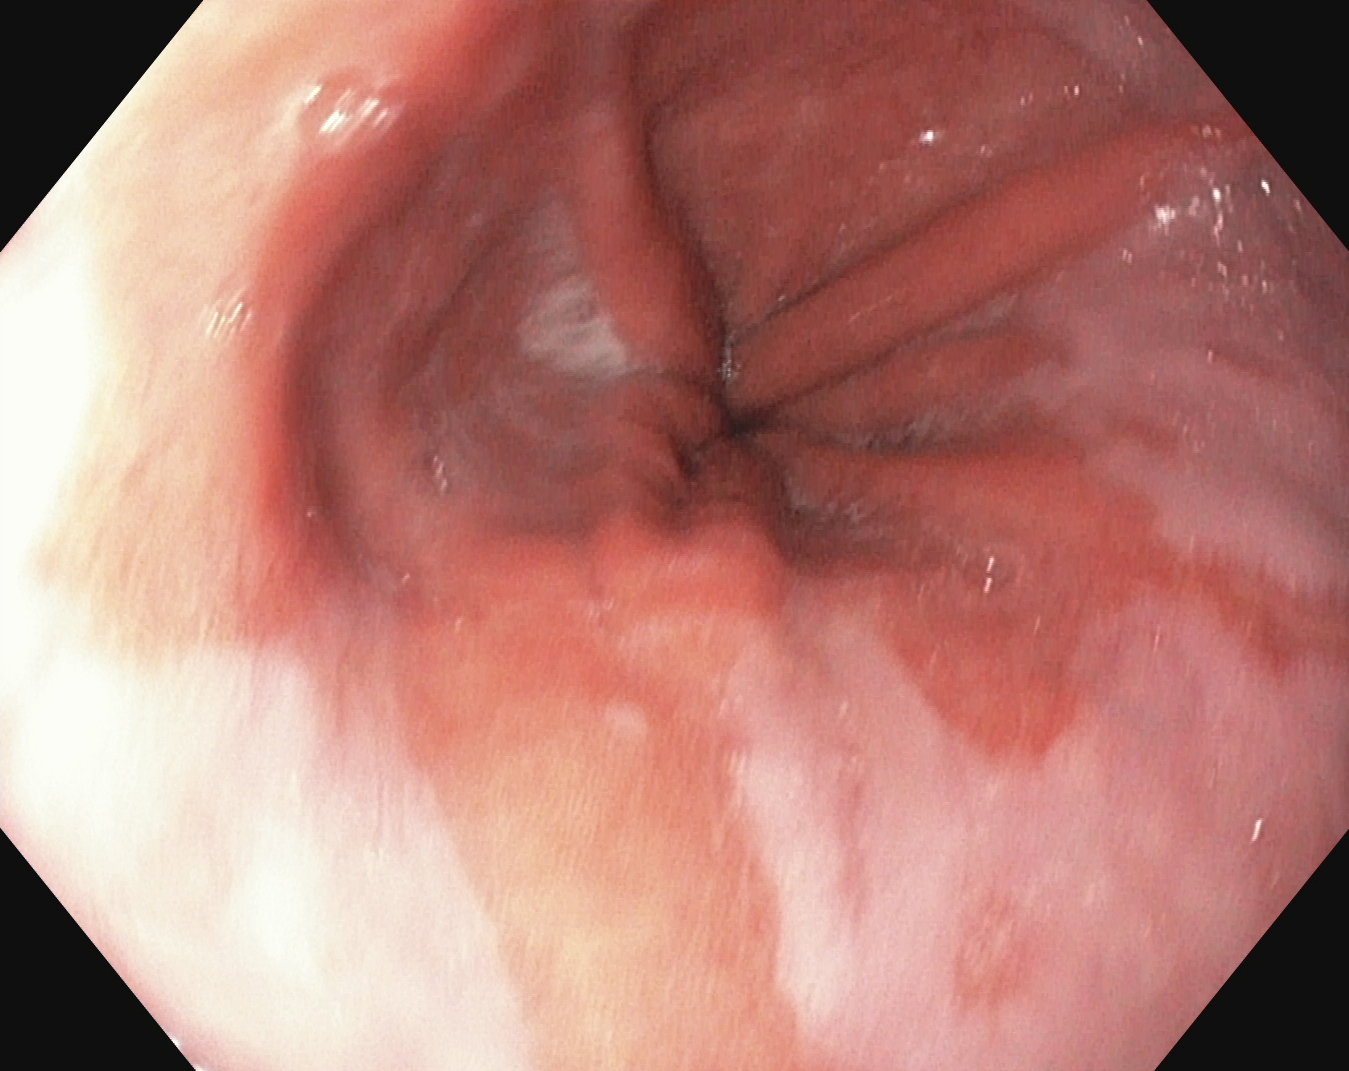Endoscopic frame of the upper GI tract showing Barrett's esophagus, short segment.